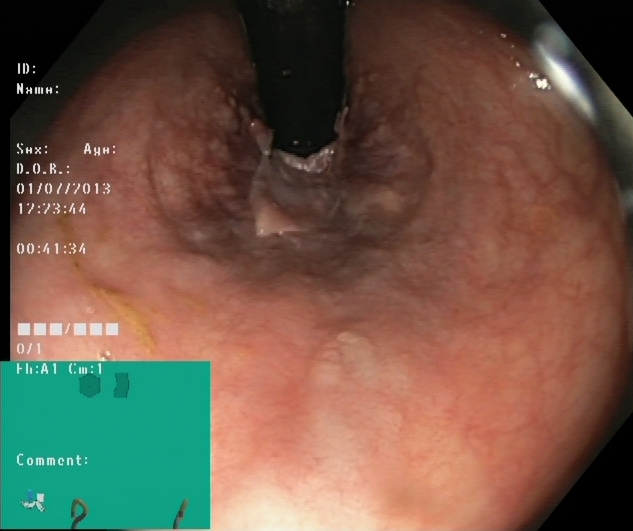This endoscopic image of the lower GI tract shows rectum in retroflexion.